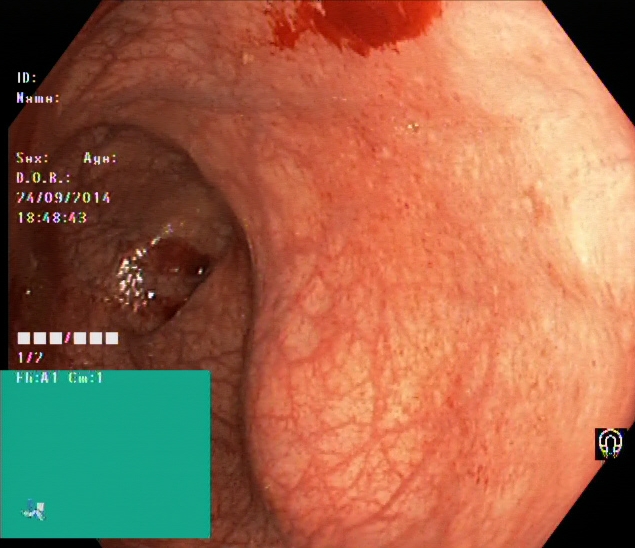This endoscopic image of the lower GI tract shows ulcerative colitis, Mayo endoscopic subscore 1.